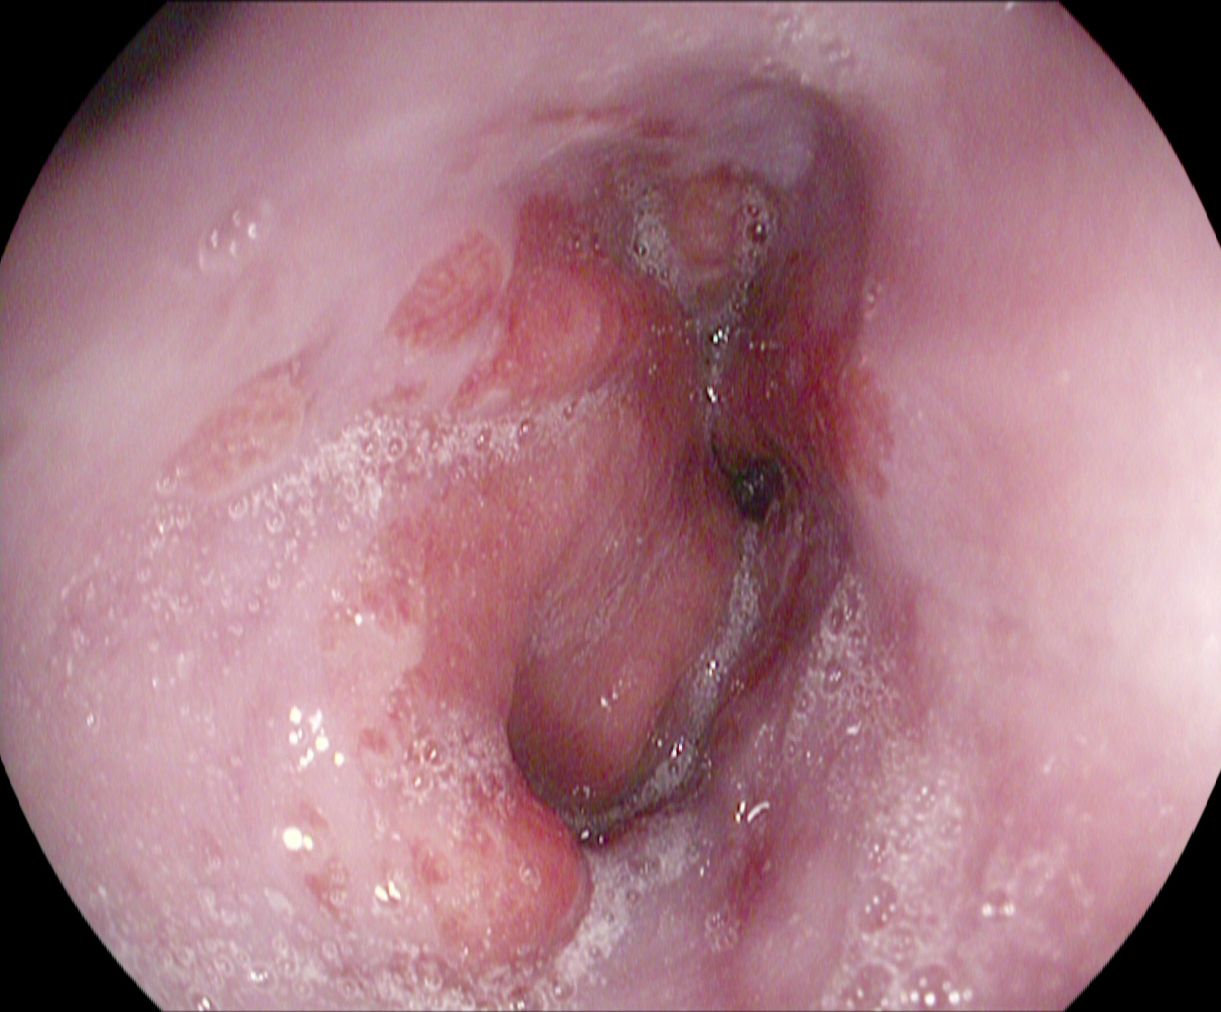Reflux esophagitis, Los Angeles grade A.